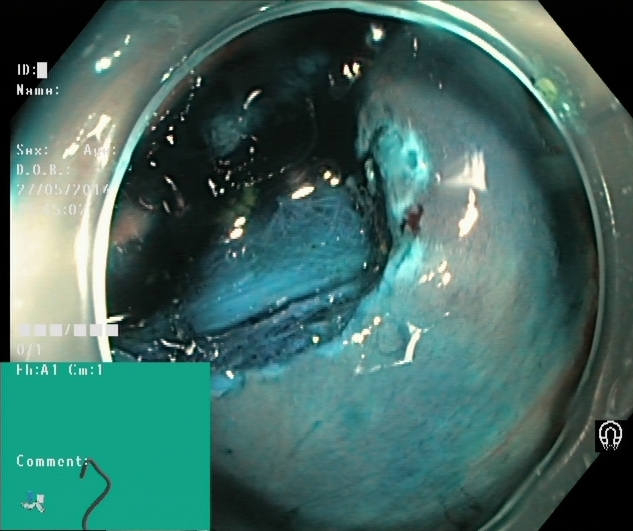dyed resection margins (post-polypectomy).